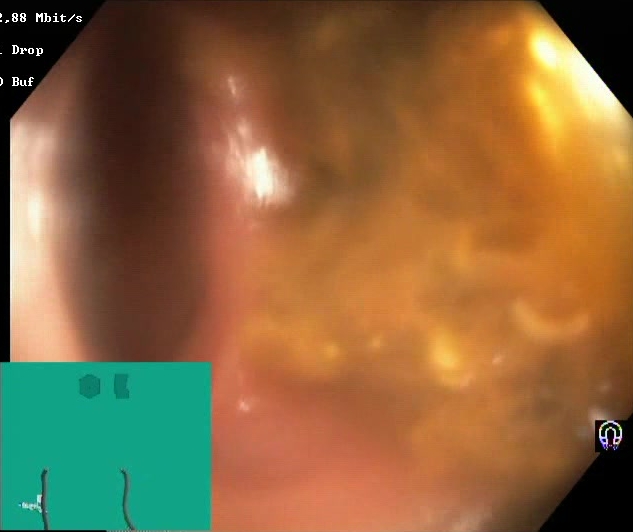{"modality": "lower gastrointestinal endoscopy", "finding": "BBPS score 0\u20131 (inadequate preparation)"}